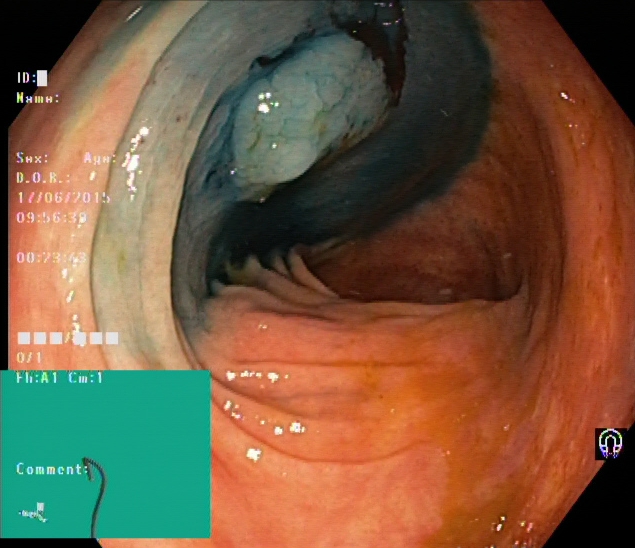Colonoscopy — dyed and lifted polyp (pre-resection).